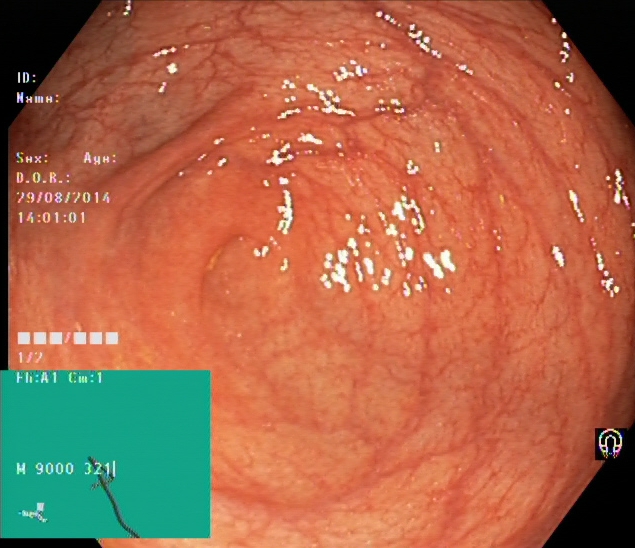Gastrointestinal endoscopy image showing cecum.